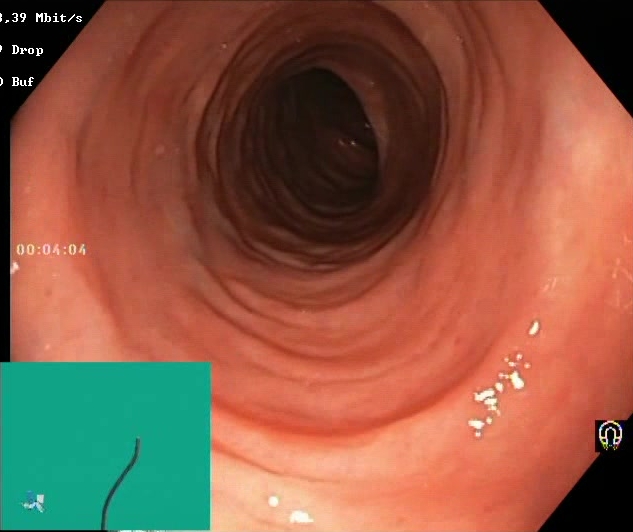Endoscopic frame of the lower GI tract showing Boston Bowel Preparation Scale score 2–3 (adequate preparation).